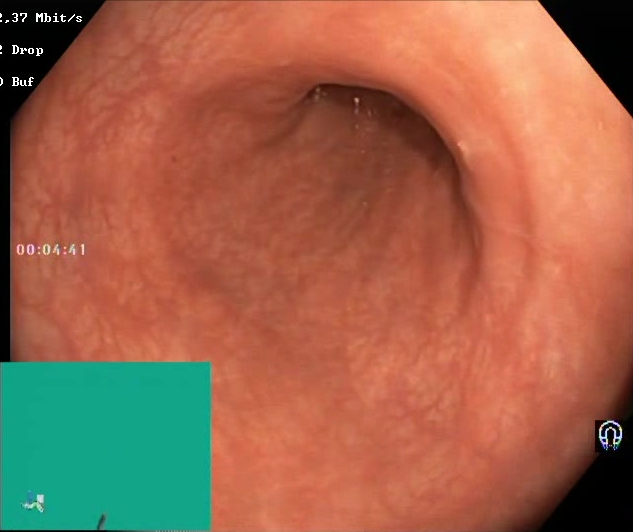Boston Bowel Preparation Scale score 2–3 (adequate preparation).